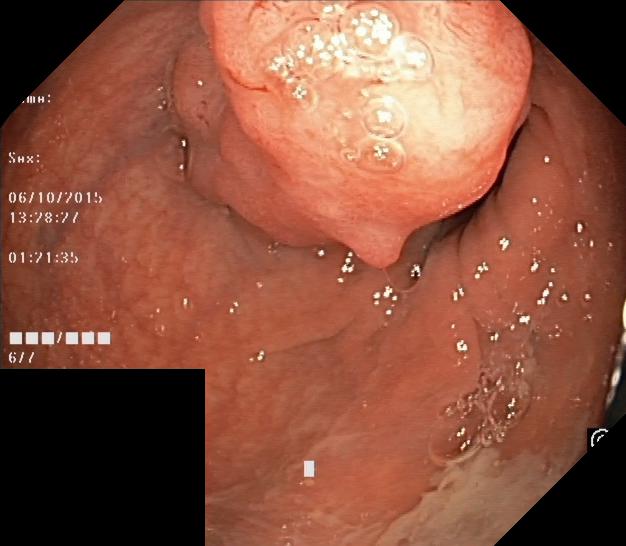modality: lower gastrointestinal endoscopy
tract: lower GI tract
finding: colorectal polyp(s)